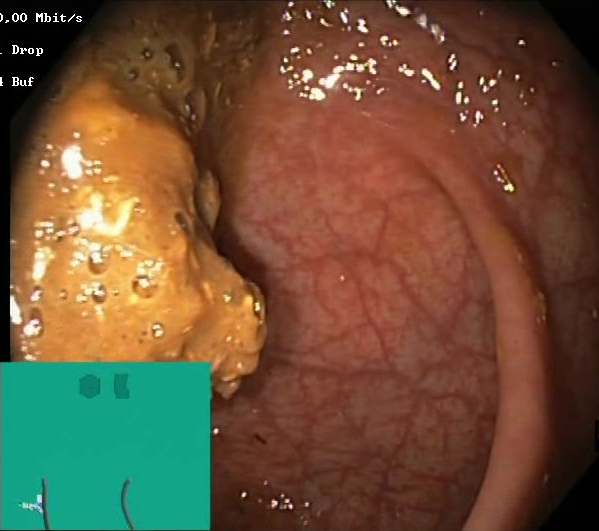GI endoscopy image of the lower GI tract showing Boston Bowel Preparation Scale score 0–1 (inadequate preparation).